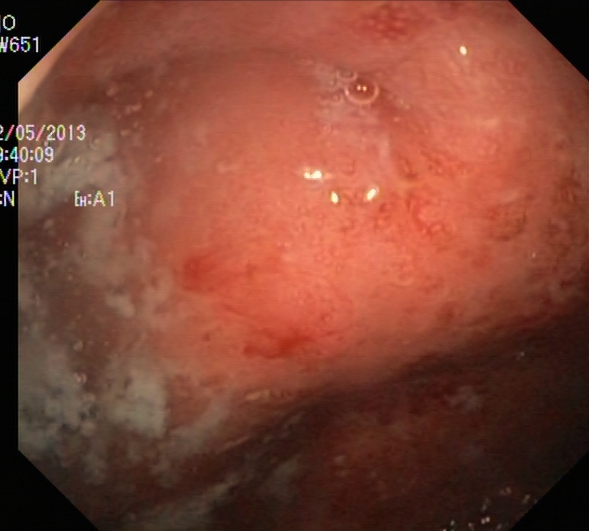This endoscopy frame of the lower GI tract shows UC, Mayo endoscopic subscore 2.